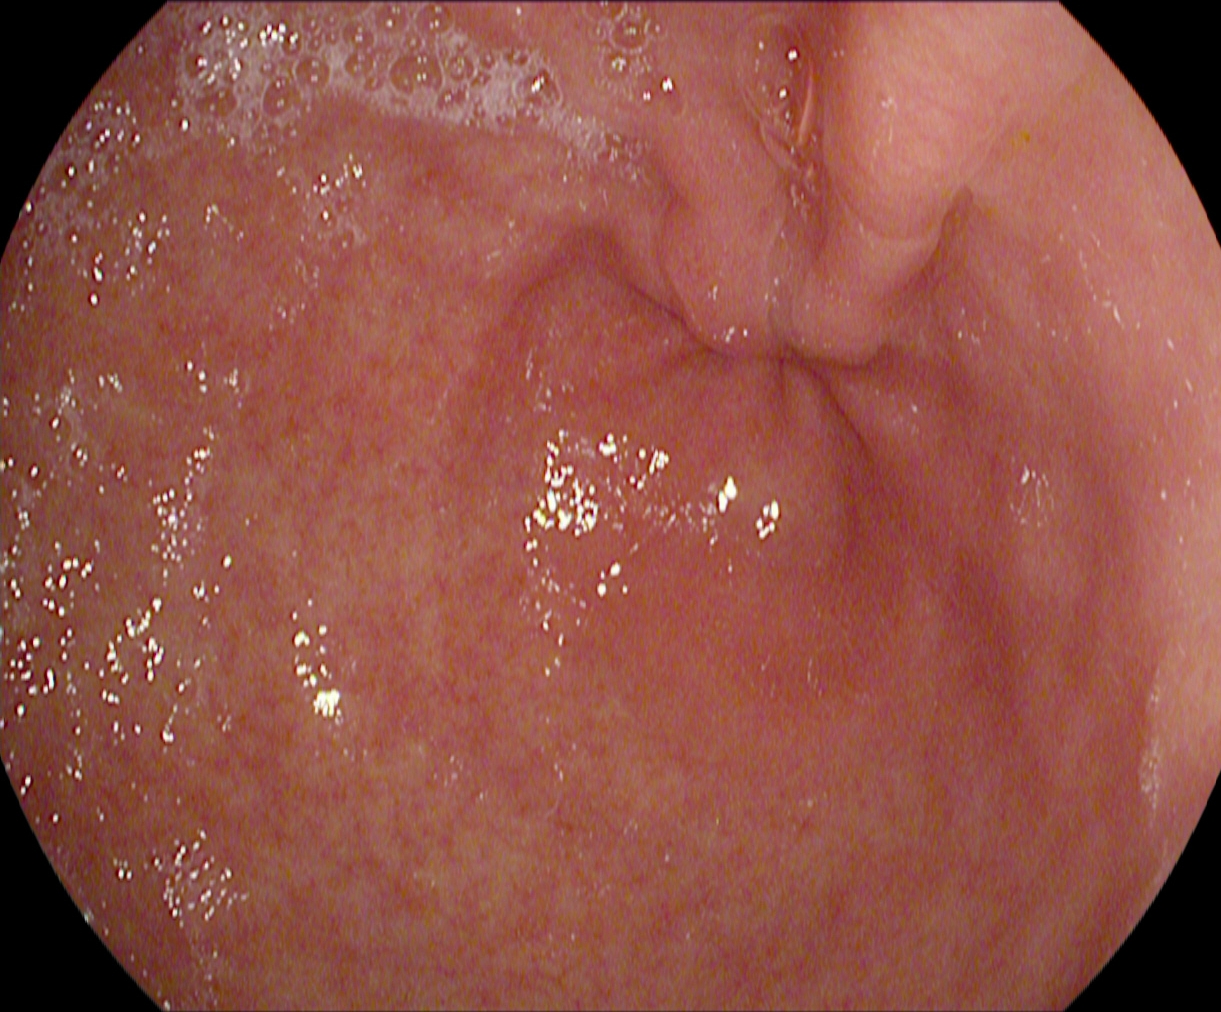Esophagogastroduodenoscopy. Tract: upper GI tract. Anatomical landmark. Finding: pylorus.